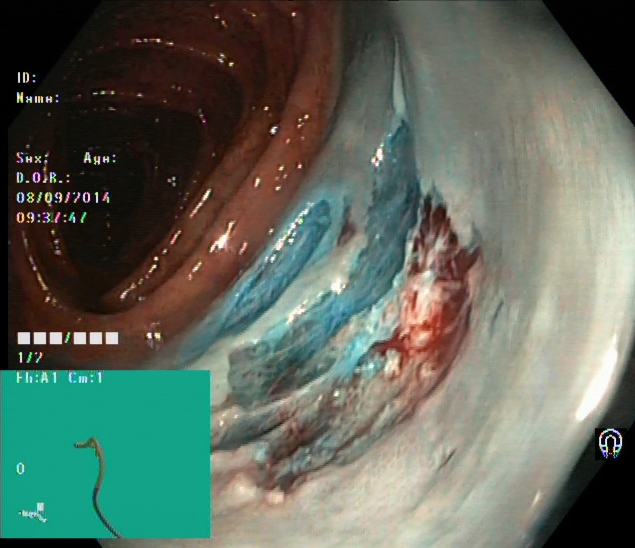dyed resection margins (post-polypectomy).